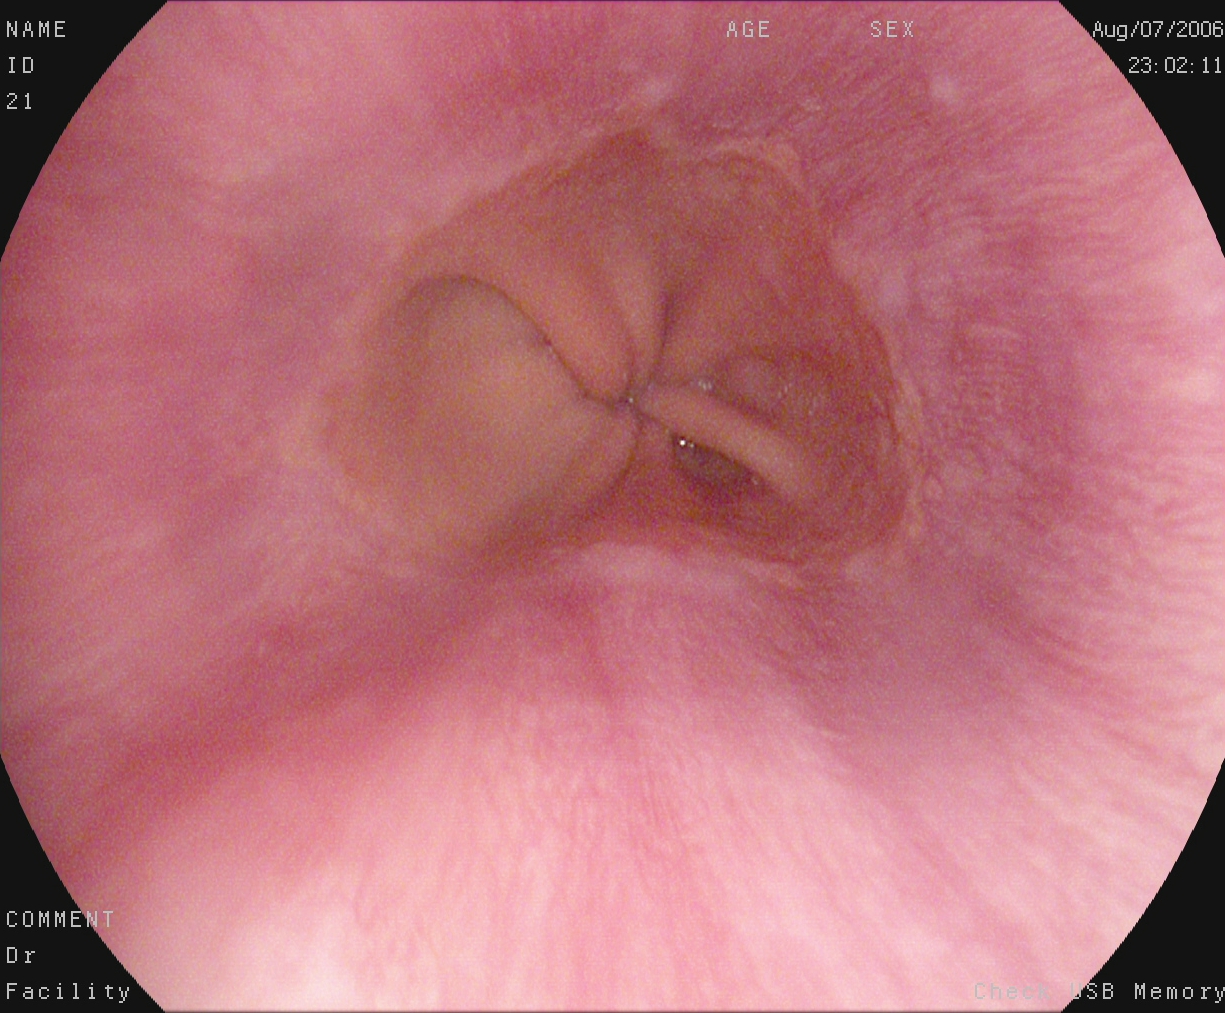Esophagogastroduodenoscopy. Tract: upper GI tract. Anatomical landmark. Finding: Z-line (gastroesophageal junction).